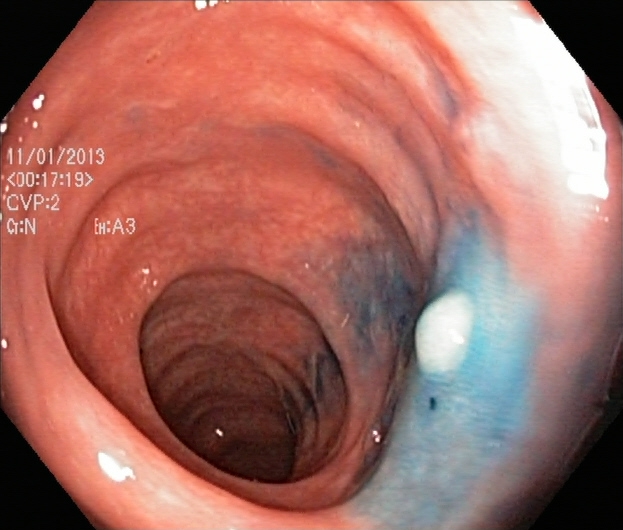GI endoscopy image of the lower GI tract showing dyed and lifted polyp (pre-resection).